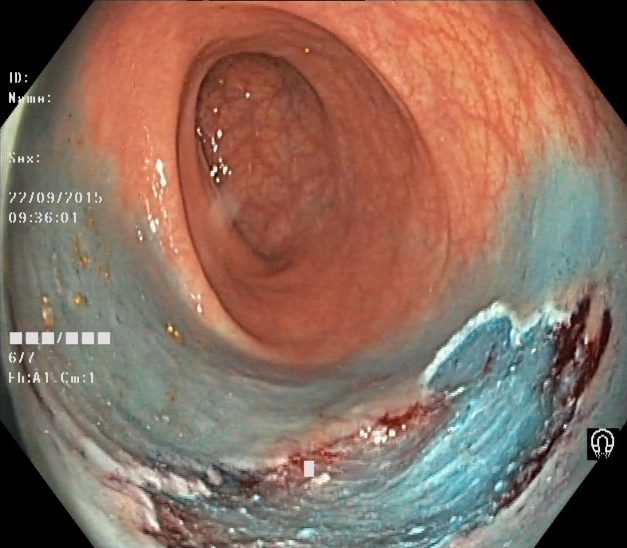Dyed resection margins (post-polypectomy).